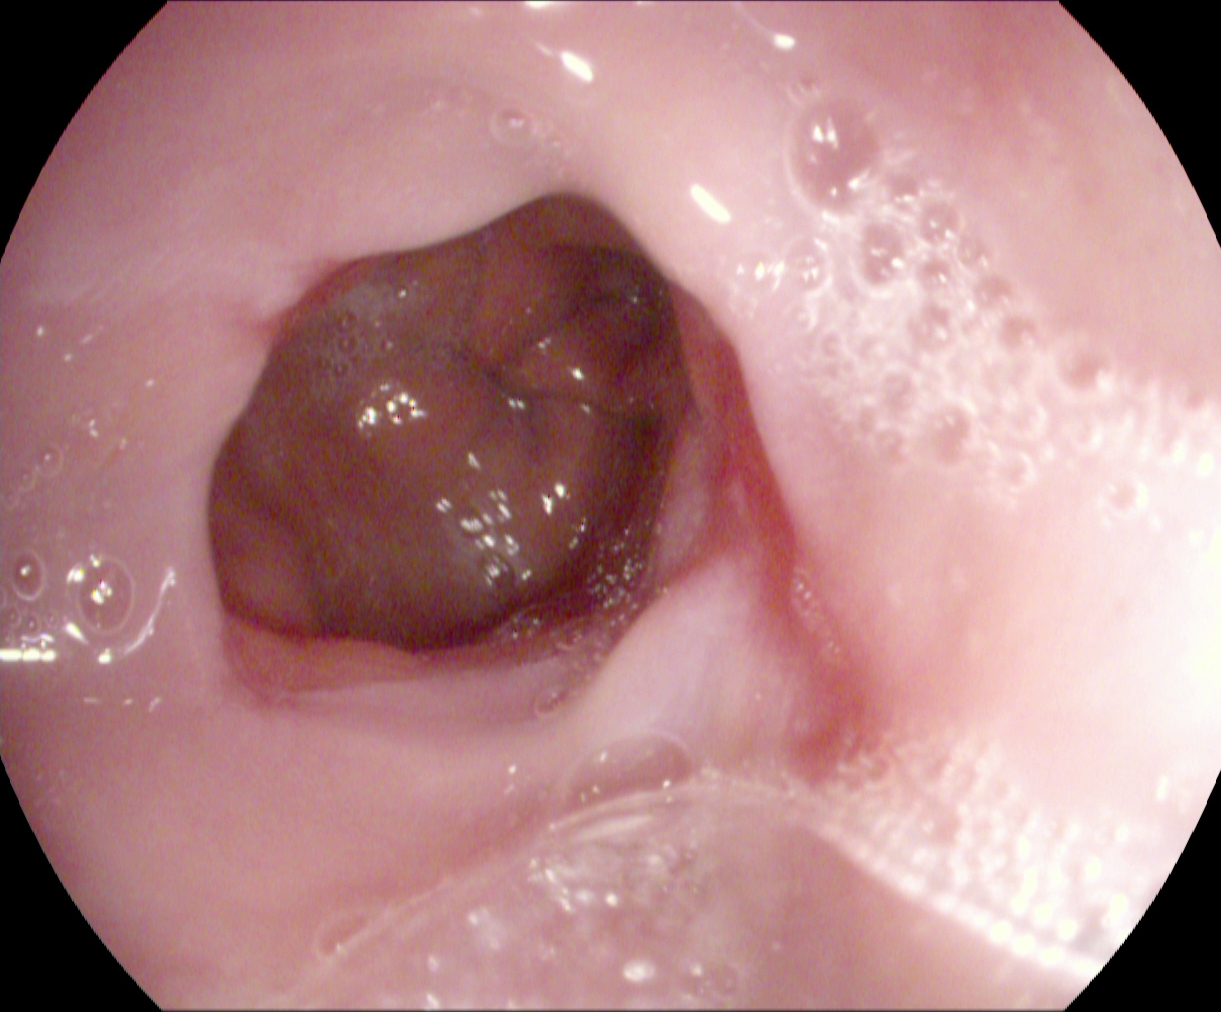Gastrointestinal endoscopy image showing reflux esophagitis, Los Angeles grade A.